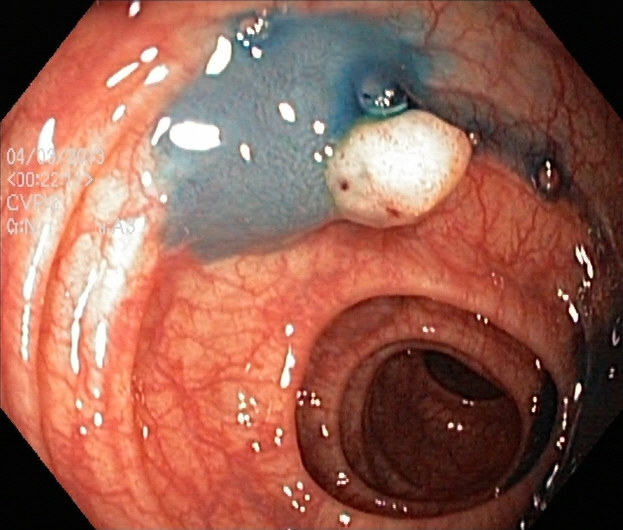Endoscopy image of the lower GI tract showing dyed and lifted polyp (pre-resection).